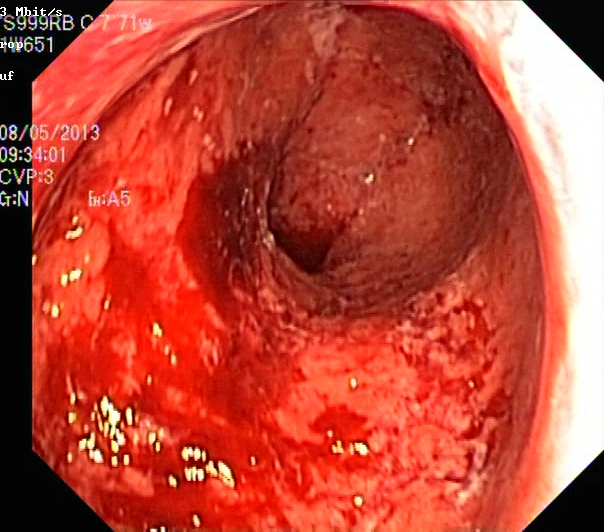PROCEDURE: Lower gastrointestinal endoscopy.
CATEGORY: Pathological finding.
FINDINGS: Ulcerative colitis, Mayo endoscopic subscore 3.